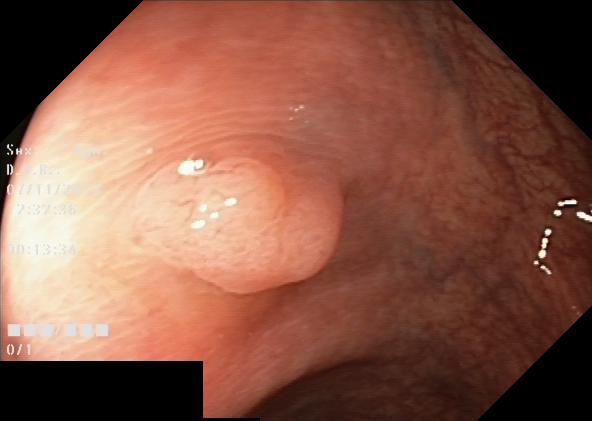modality: lower gastrointestinal endoscopy; tract: lower GI tract; category: pathological finding; finding: colorectal polyp(s)